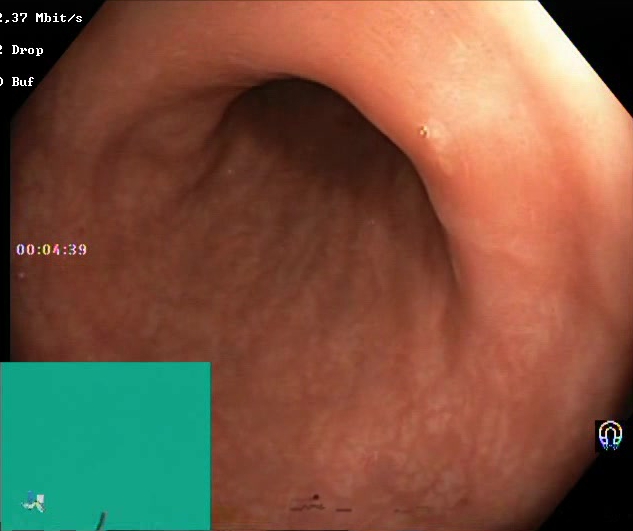modality: colonoscopy
finding: BBPS score 2–3 (adequate preparation)